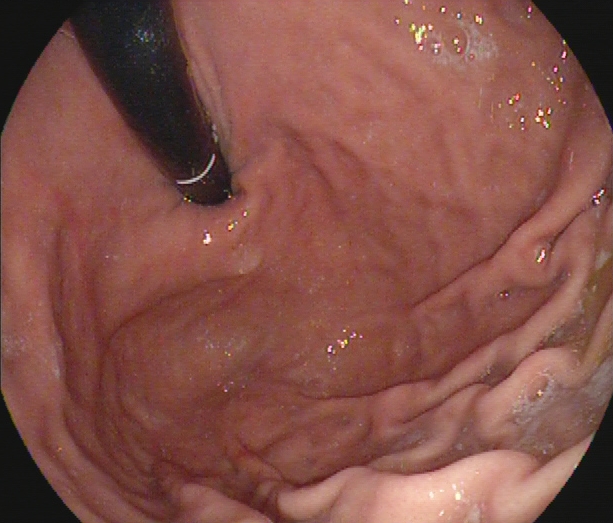PROCEDURE: Esophagogastroduodenoscopy.
CATEGORY: Anatomical landmark.
FINDINGS: Stomach in retroflexion.